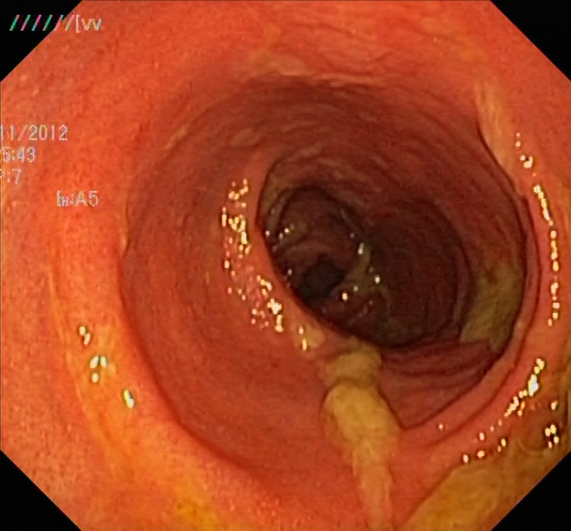Lower-GI endoscopy — ulcerative colitis, Mayo endoscopic subscore 2.